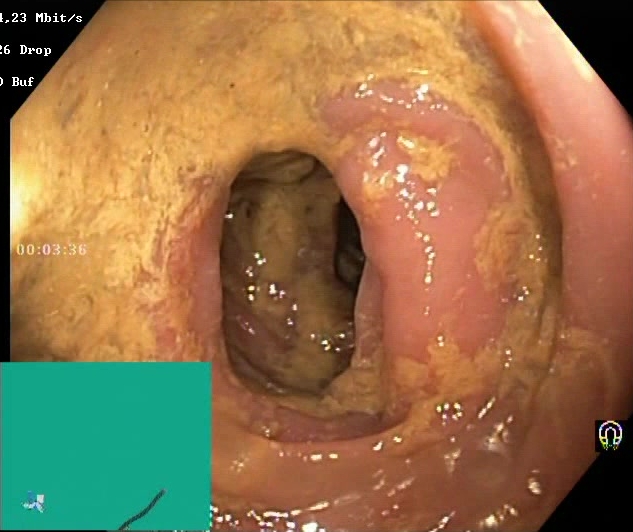Boston Bowel Preparation Scale score 0–1 (inadequate preparation).